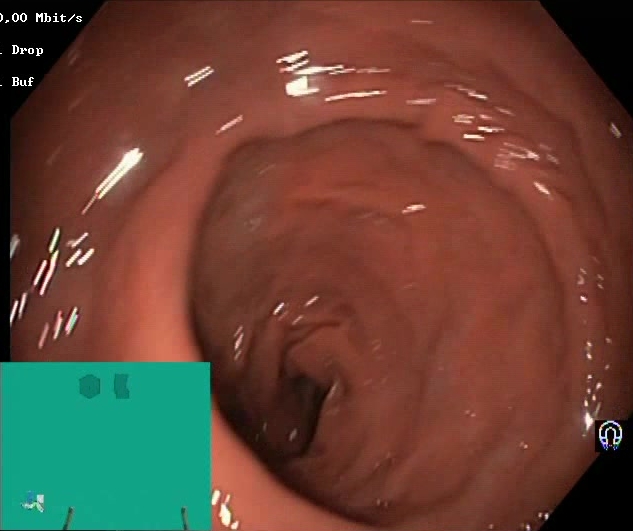Colonoscopy image showing Boston Bowel Preparation Scale score 2–3 (adequate preparation).